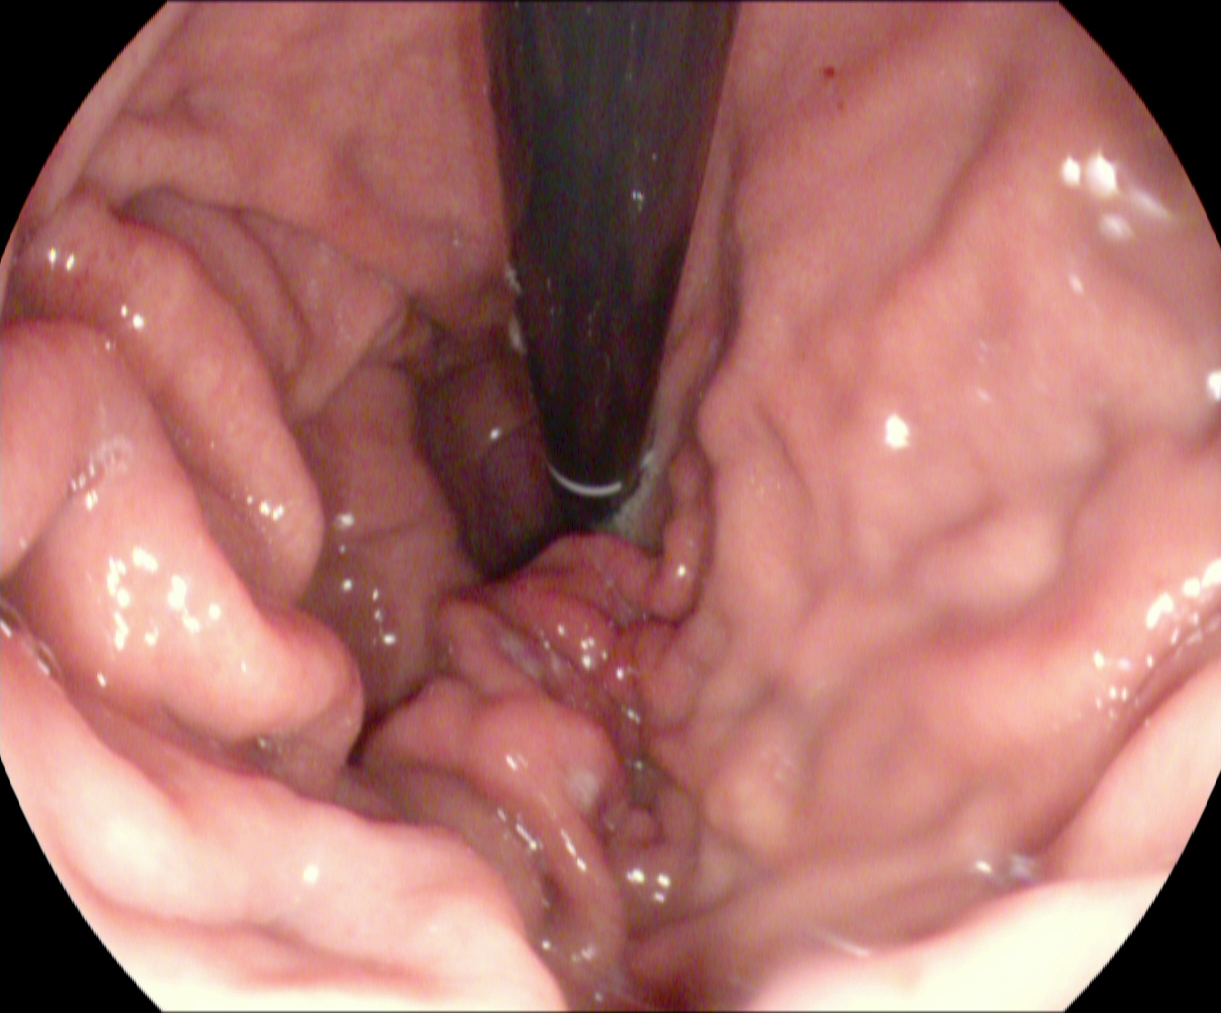PROCEDURE: Upper-GI endoscopy.
FINDINGS: Stomach in retroflexion.